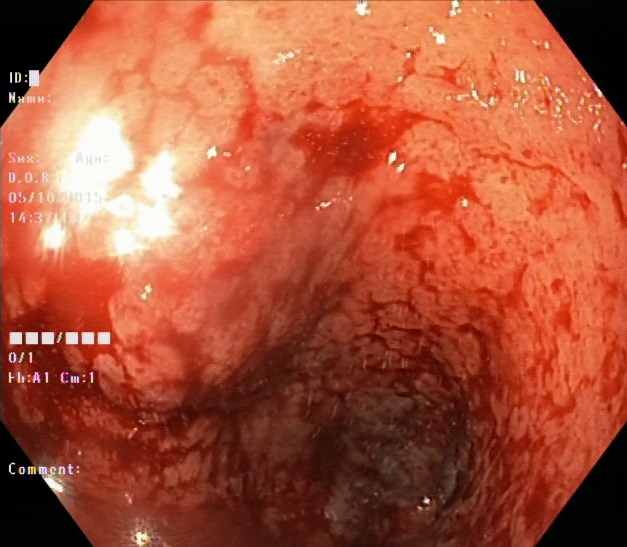This endoscopic image of the lower GI tract shows ulcerative colitis, Mayo endoscopic subscore 3.